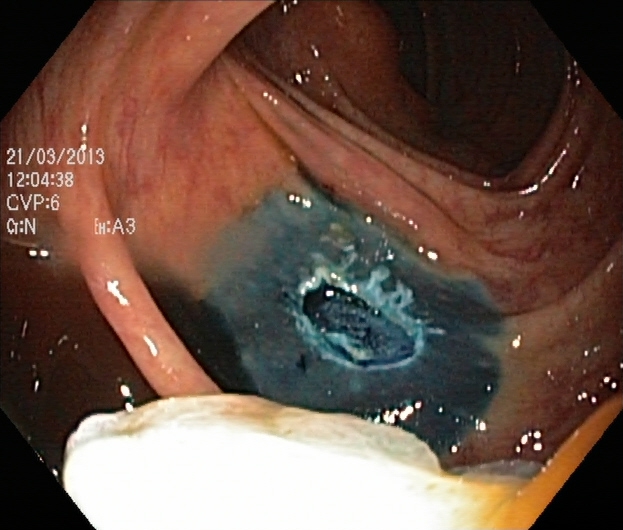{"modality": "colonoscopy", "tract": "lower GI tract", "category": "therapeutic intervention", "finding": "dyed resection margins (post-polypectomy)"}